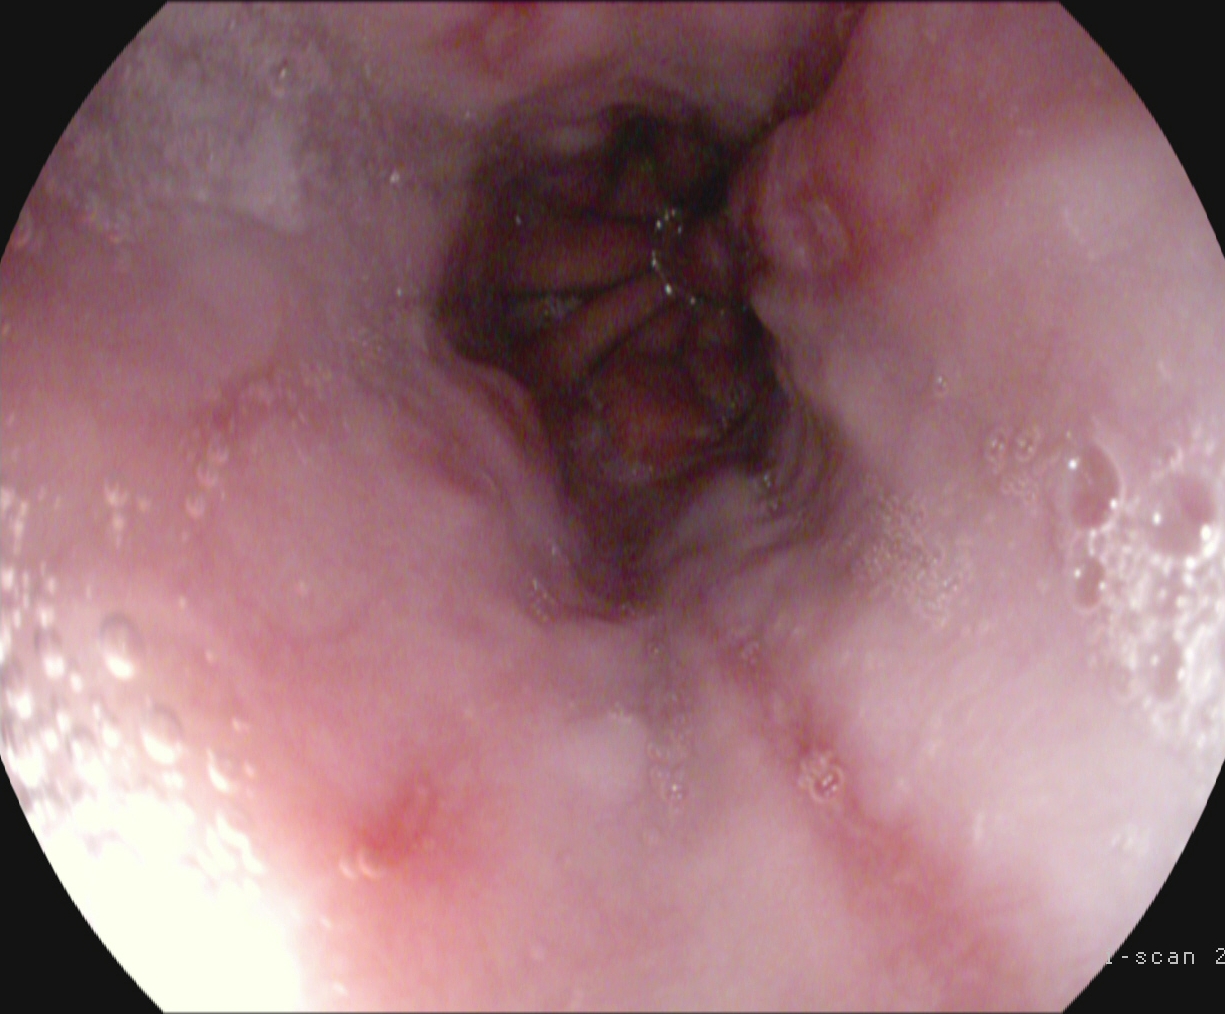Gastroscopy. Finding: reflux esophagitis, Los Angeles grade B–D.